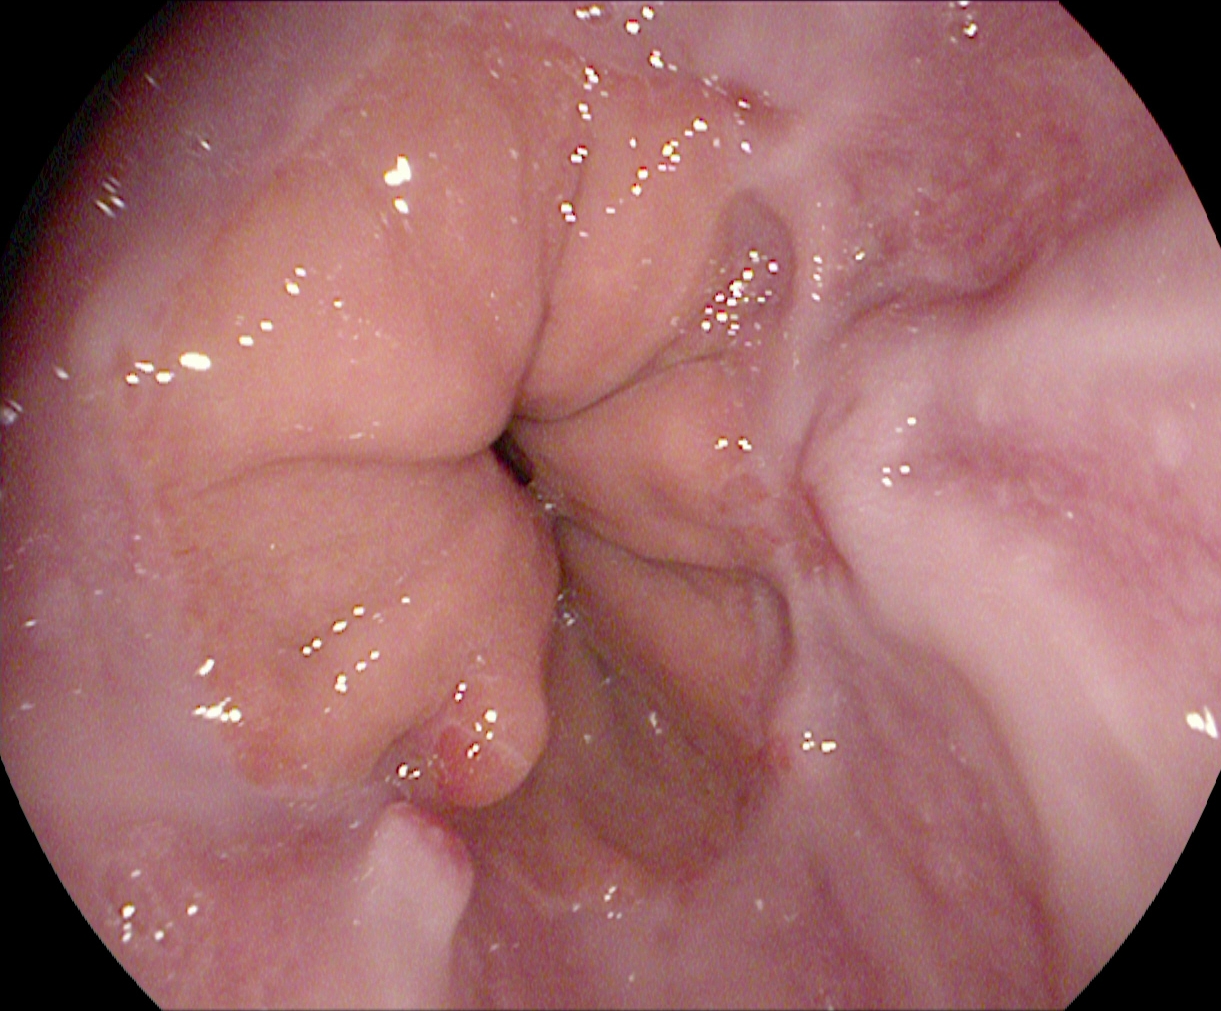{"modality": "upper-GI endoscopy", "tract": "upper GI tract", "finding": "reflux esophagitis, Los Angeles grade A"}